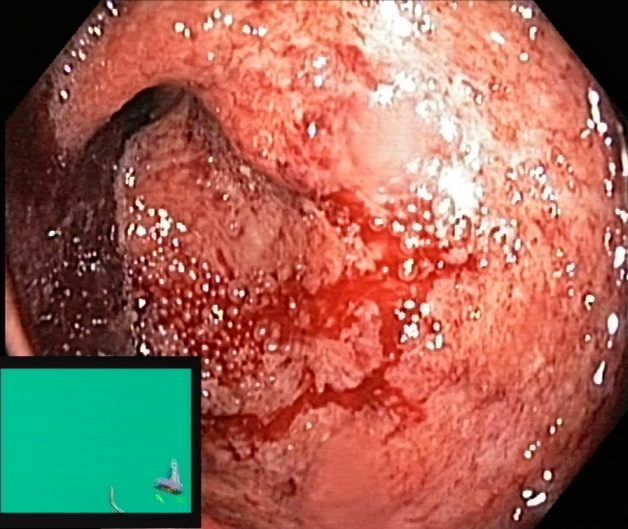Lower-GI endoscopy. Pathological finding. Finding: ulcerative colitis, Mayo endoscopic subscore 3.